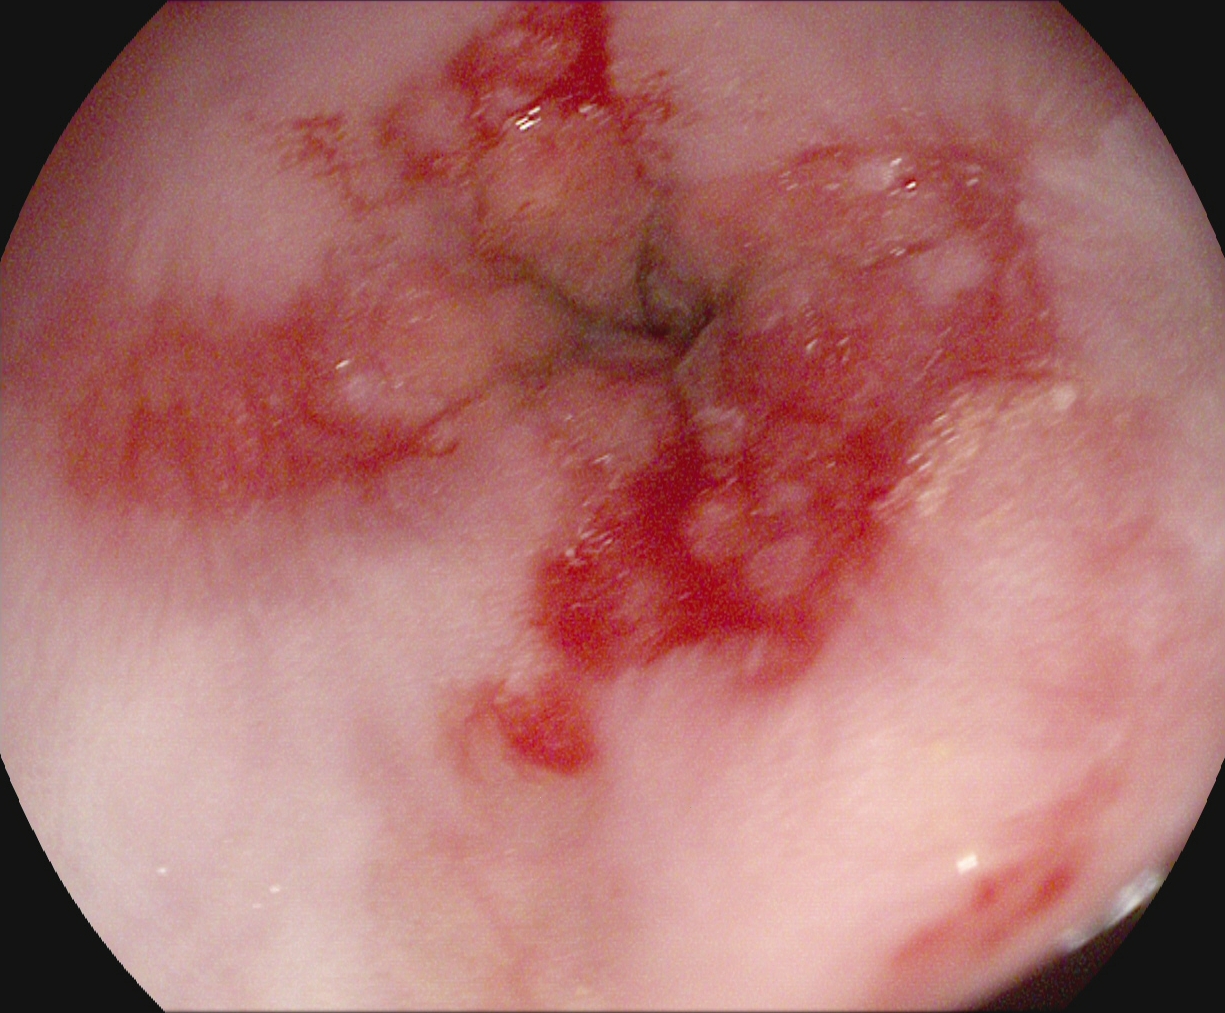Gastroscopy. Tract: upper GI tract. Finding: reflux esophagitis, Los Angeles grade B–D.